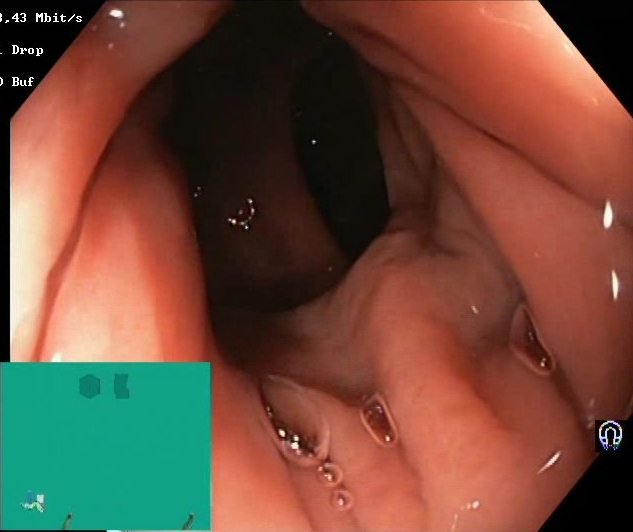Boston Bowel Preparation Scale score 2–3 (adequate preparation).